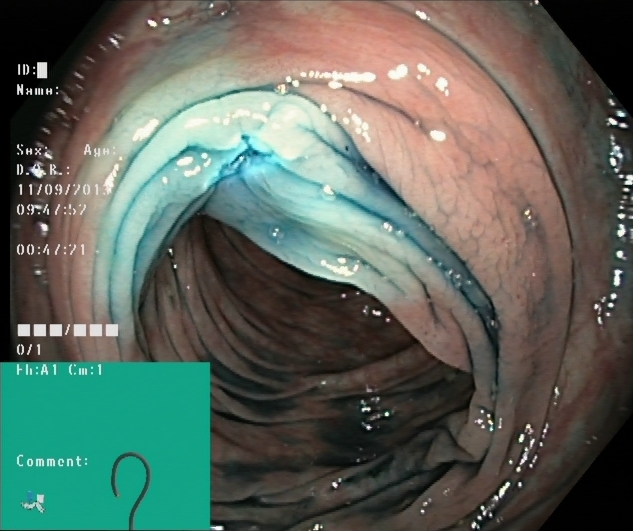Lower gastrointestinal endoscopy — dyed resection margins (post-polypectomy).